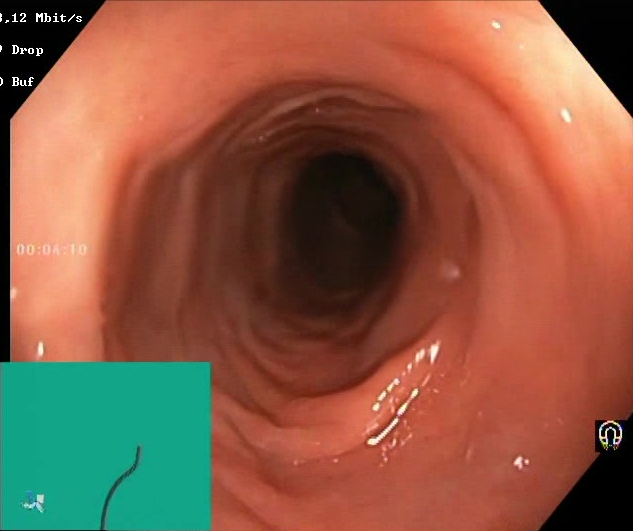Boston Bowel Preparation Scale score 2–3 (adequate preparation).